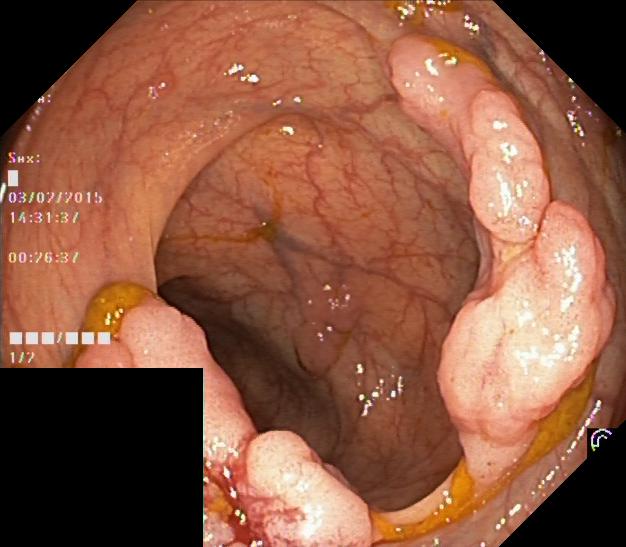modality: lower-GI endoscopy; tract: lower GI tract; finding: colorectal polyp(s)